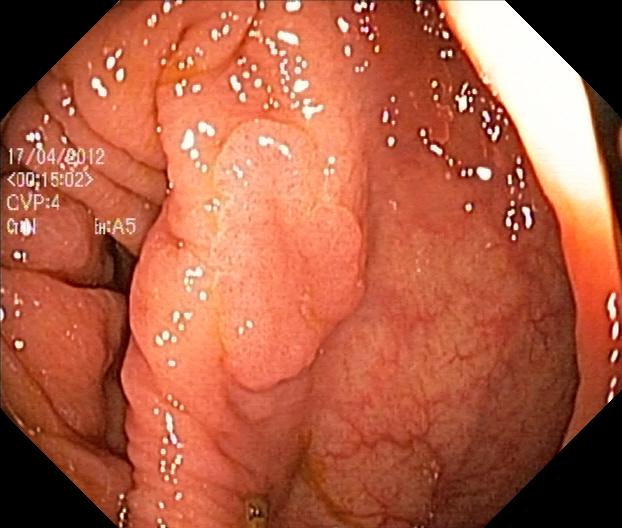Lower gastrointestinal endoscopy. Tract: lower GI tract. Finding: colorectal polyp(s).